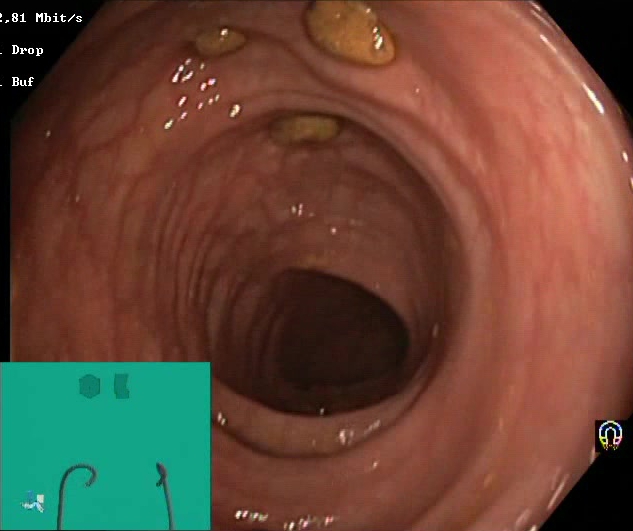This endoscopic image of the lower GI tract shows BBPS score 2–3 (adequate preparation).